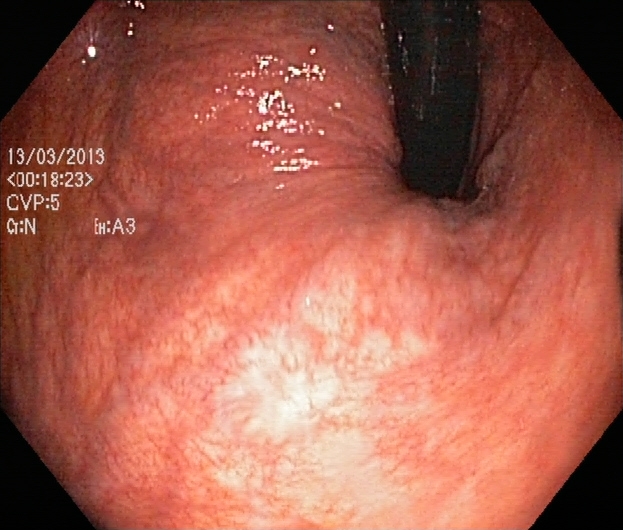Rectum in retroflexion.